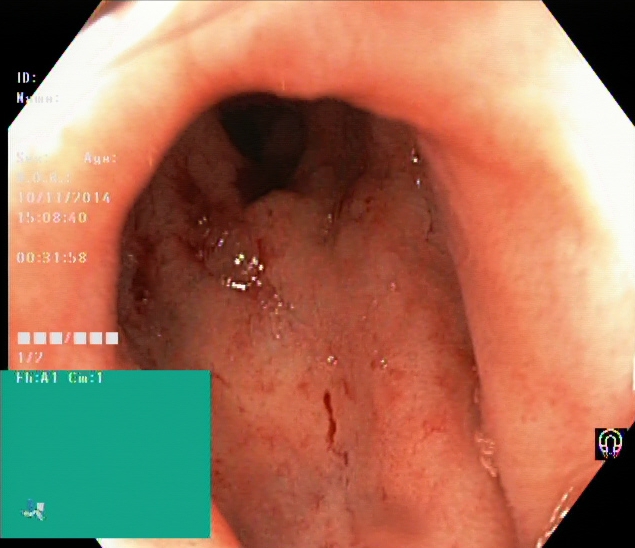UC, Mayo endoscopic subscore 2.